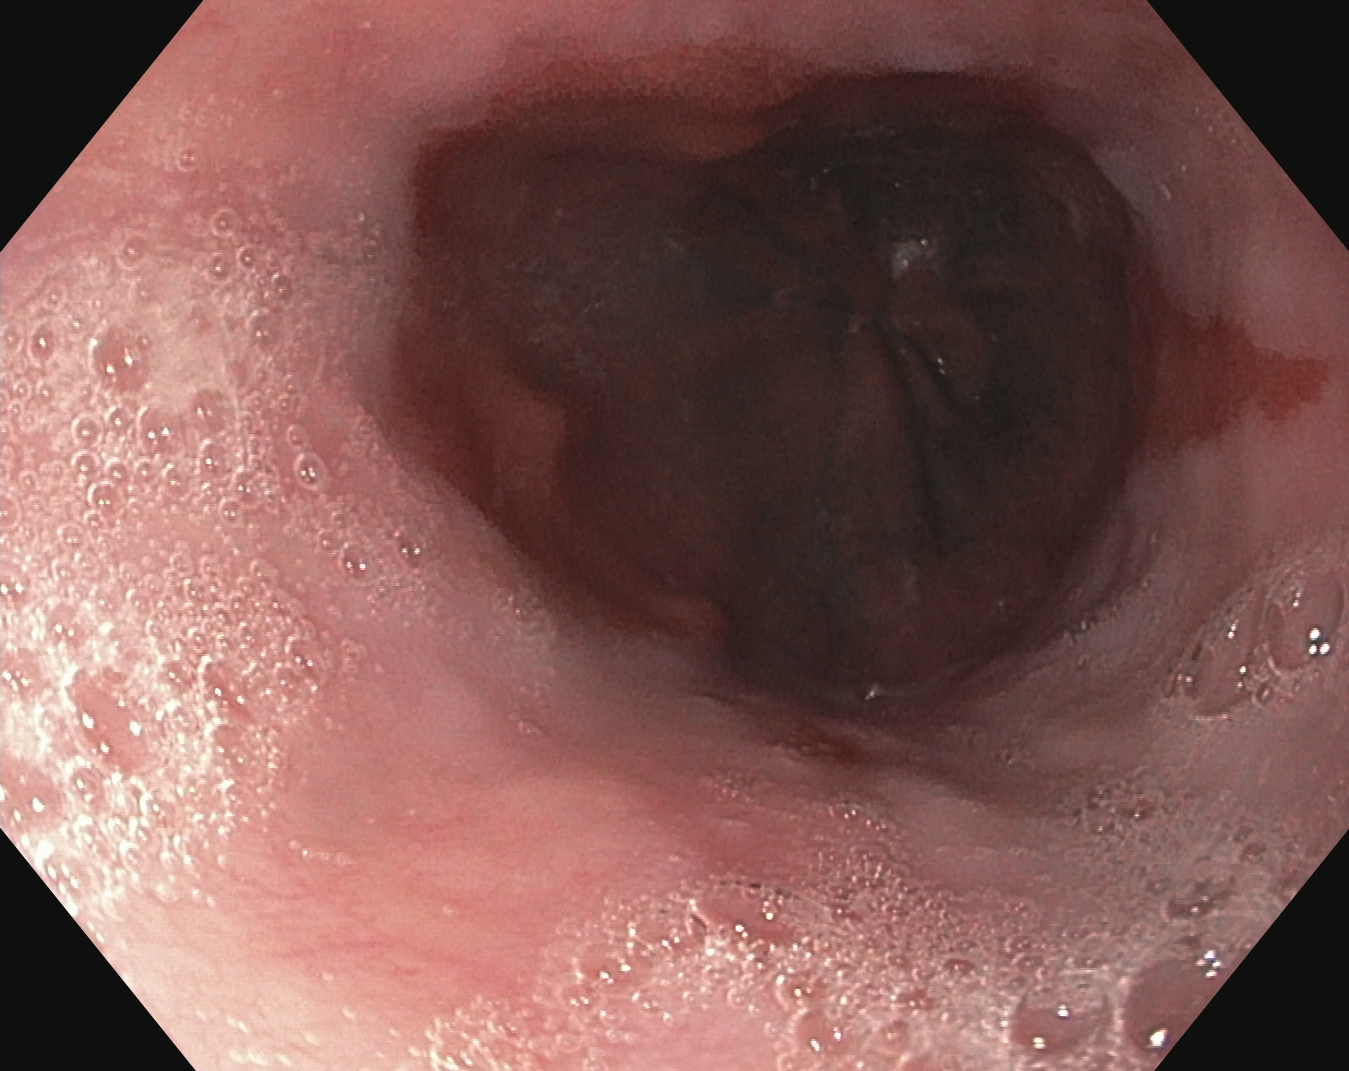{"modality": "esophagogastroduodenoscopy", "tract": "upper GI tract", "category": "pathological finding", "finding": "reflux esophagitis, LA grade B\u2013D"}